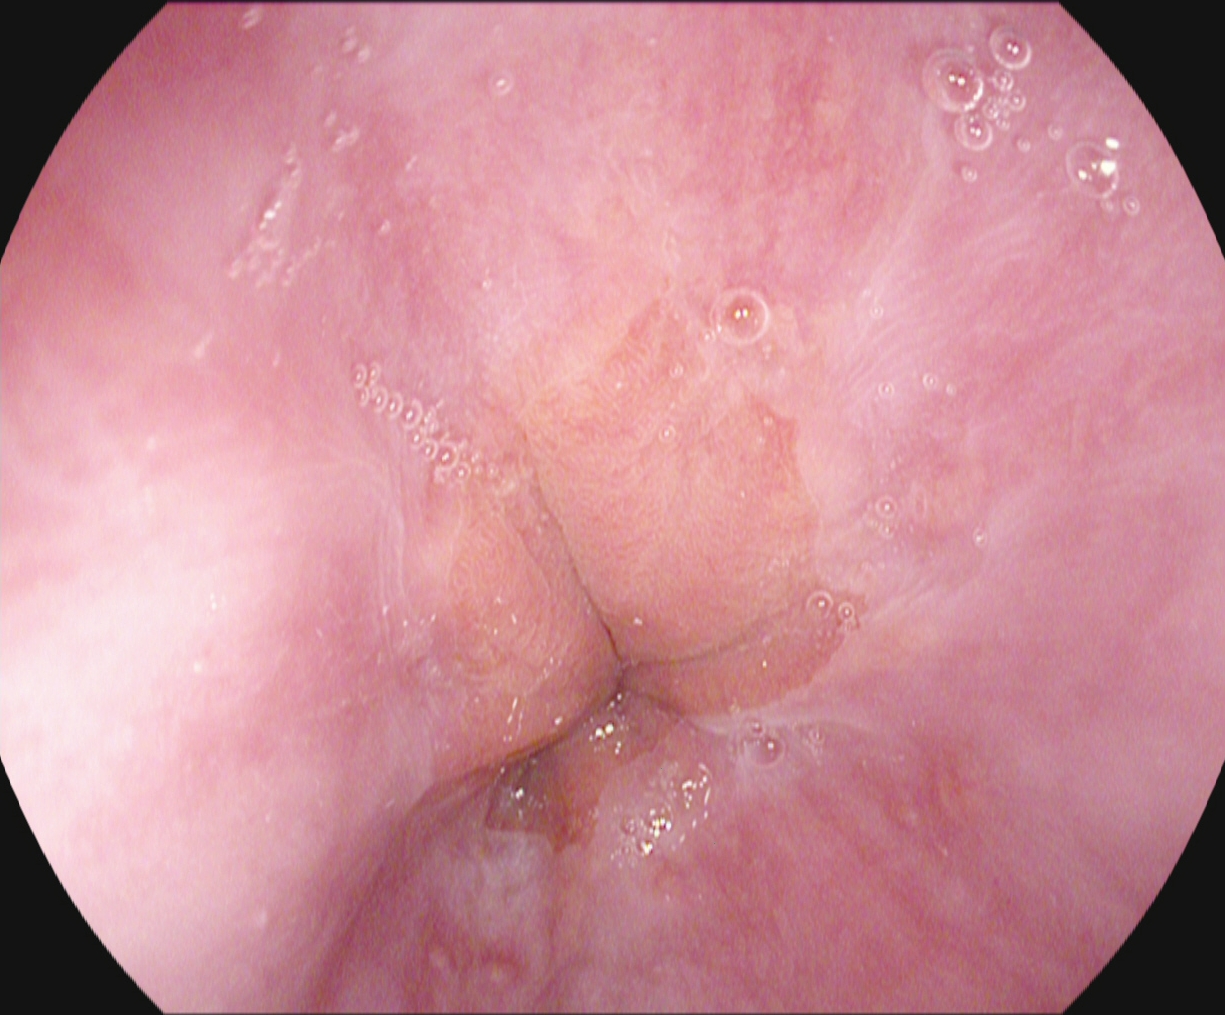Z-line (gastroesophageal junction).